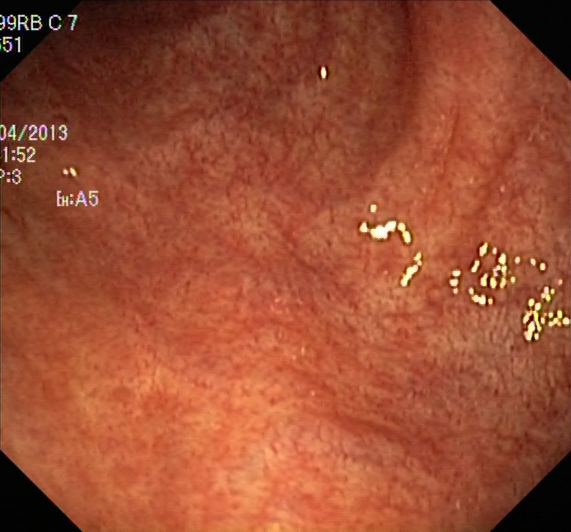PROCEDURE: Lower gastrointestinal endoscopy.
CATEGORY: Pathological finding.
FINDINGS: UC, Mayo endoscopic subscore 1.